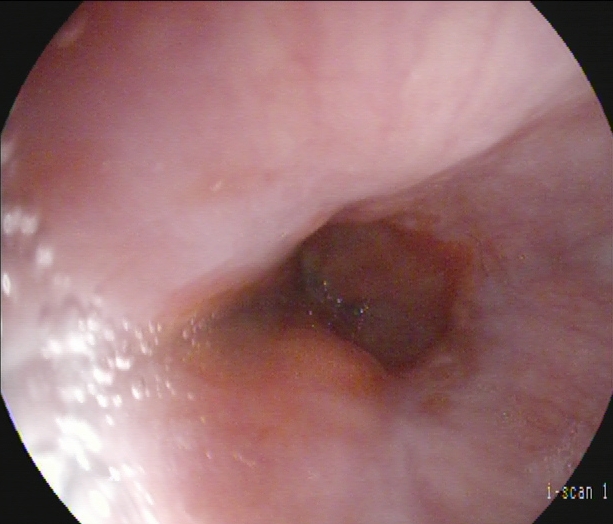Endoscopic image of the upper GI tract showing Z-line (gastroesophageal junction).